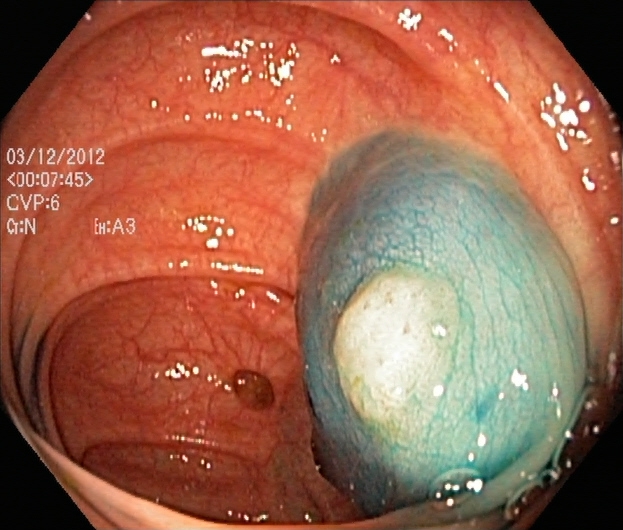Dyed and lifted polyp (pre-resection).